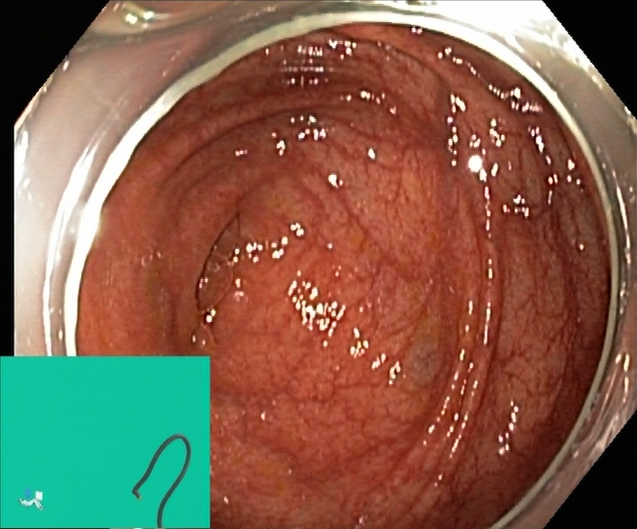Colonoscopy — cecum.